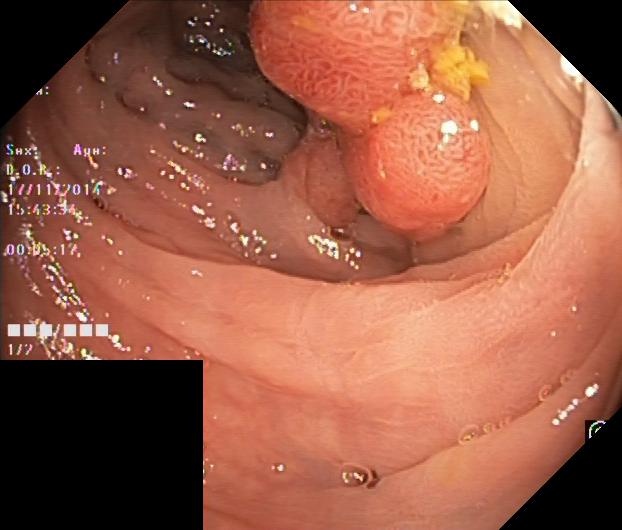This endoscopy frame of the lower GI tract shows colorectal polyp(s).